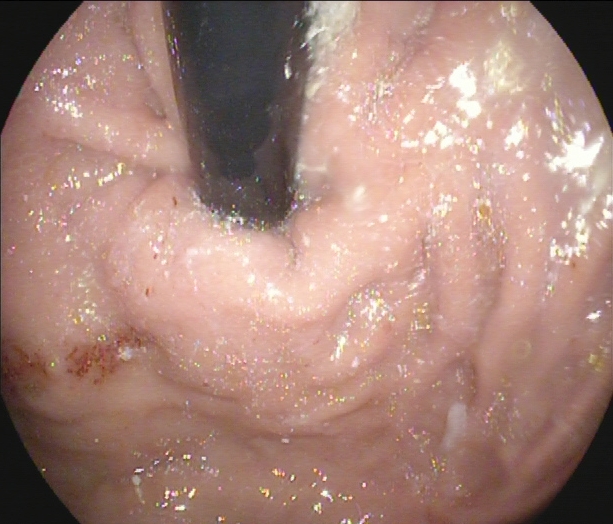{"modality": "upper-GI endoscopy", "tract": "upper GI tract", "finding": "stomach in retroflexion"}